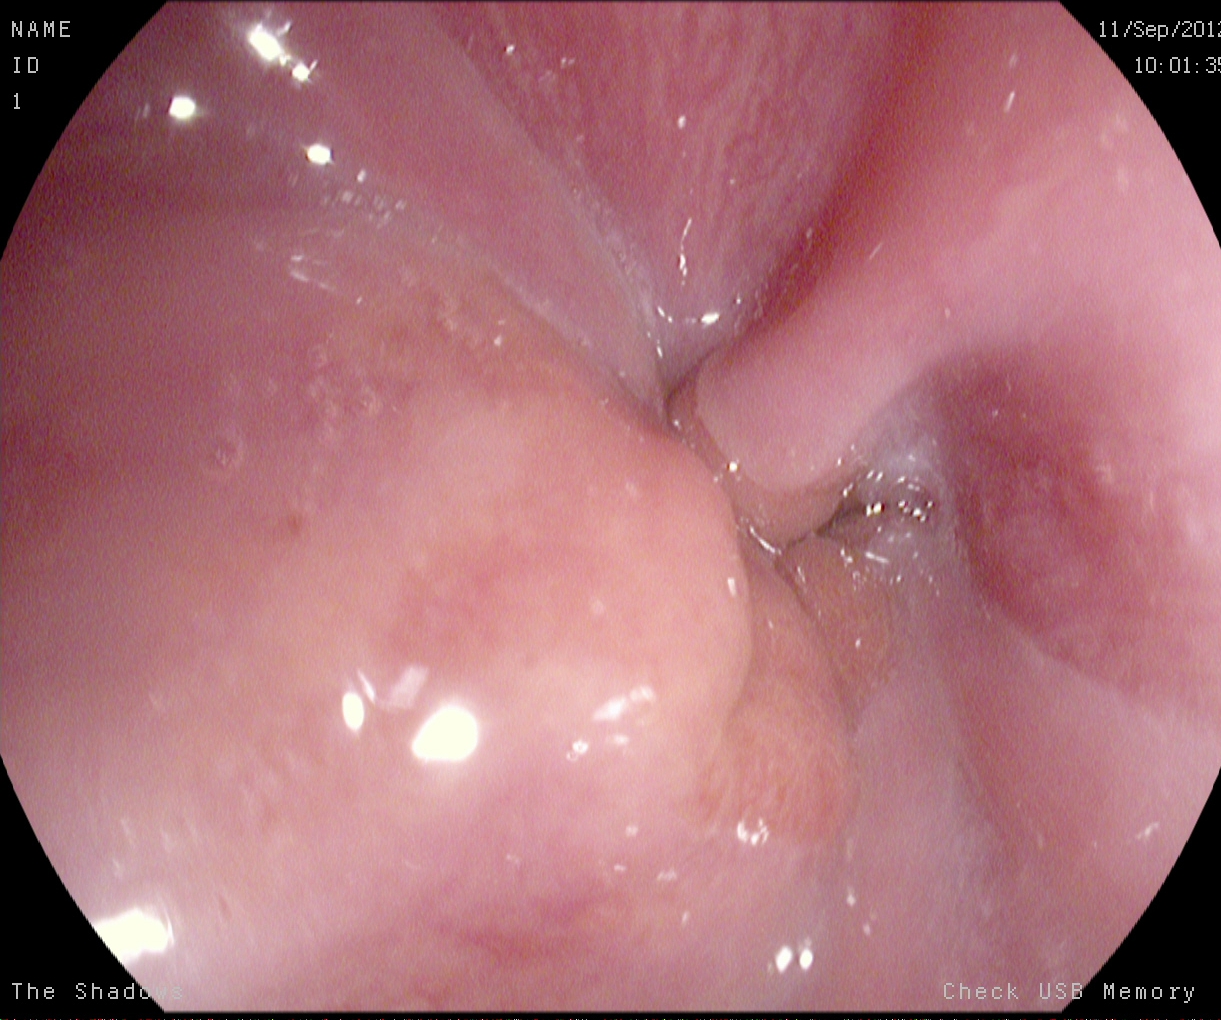This endoscopy frame of the upper GI tract shows Z-line (gastroesophageal junction).